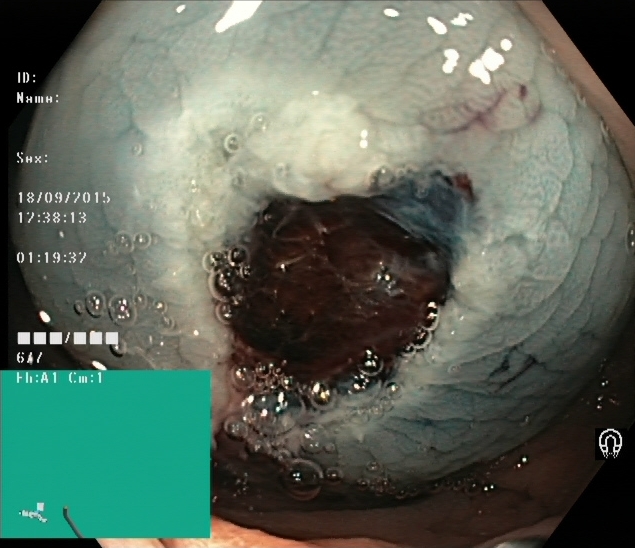This endoscopic image of the lower GI tract shows dyed resection margins (post-polypectomy).